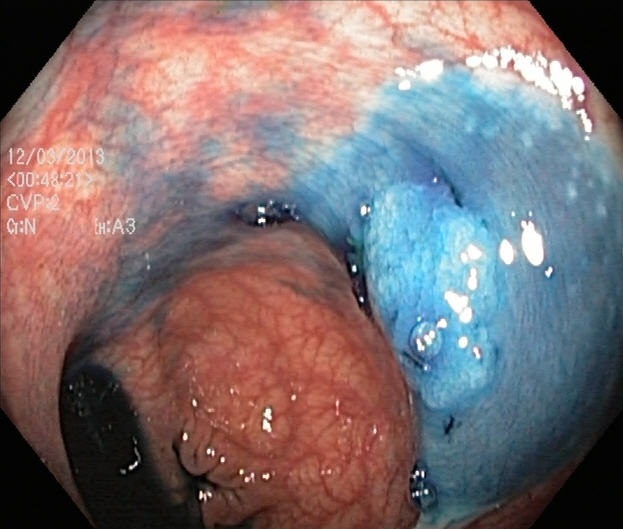{"modality": "lower-GI endoscopy", "finding": "dyed and lifted polyp (pre-resection)"}